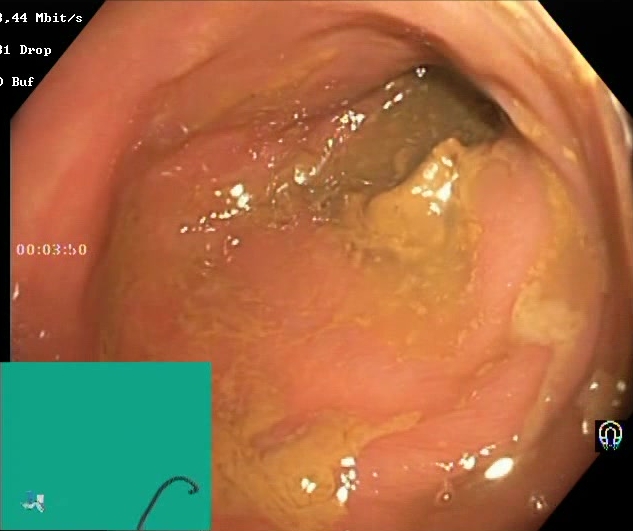BBPS score 0–1 (inadequate preparation).